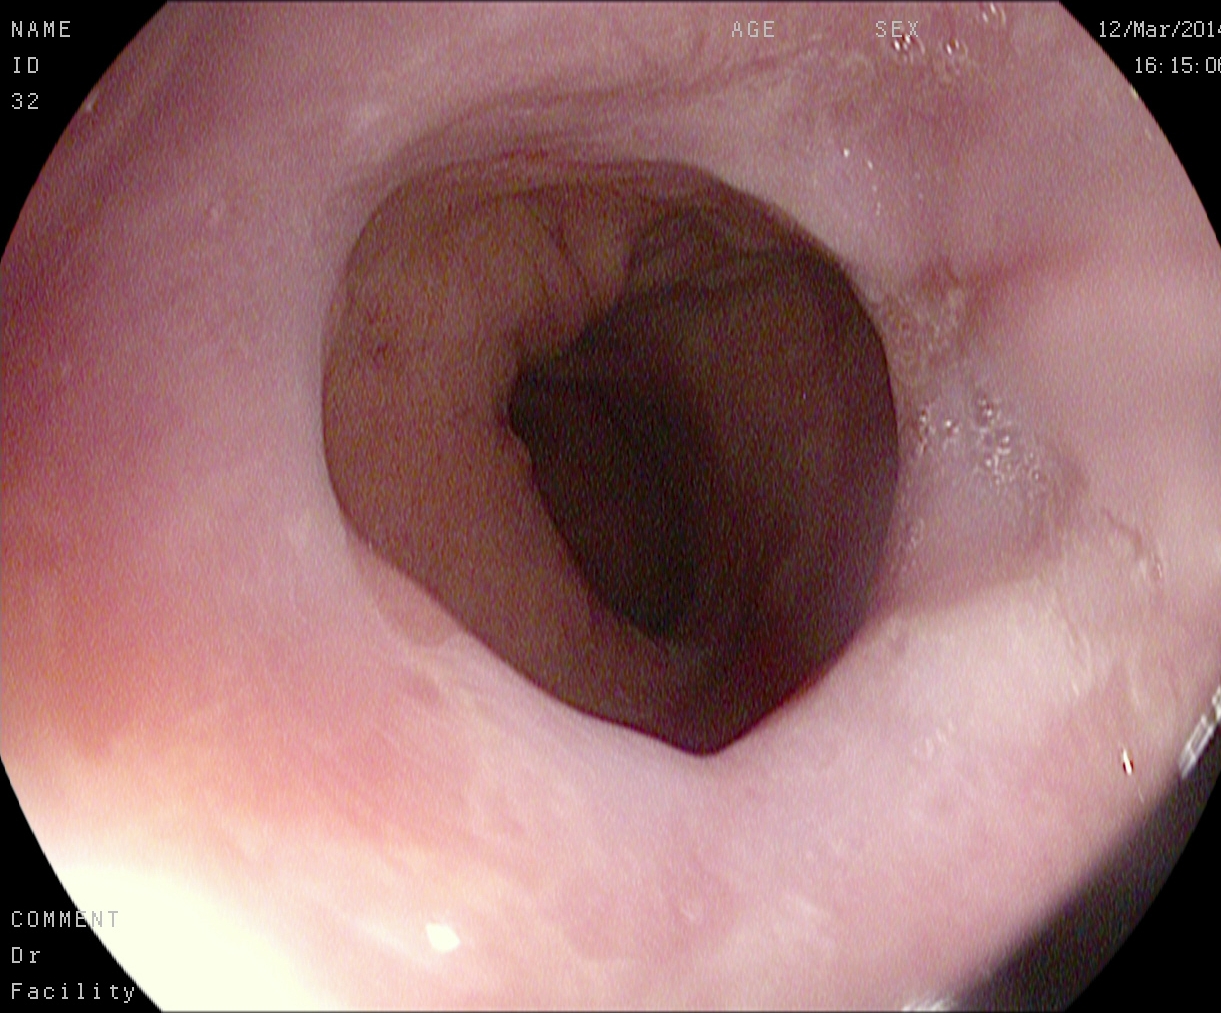This endoscopic image of the upper GI tract shows reflux esophagitis, LA grade A.